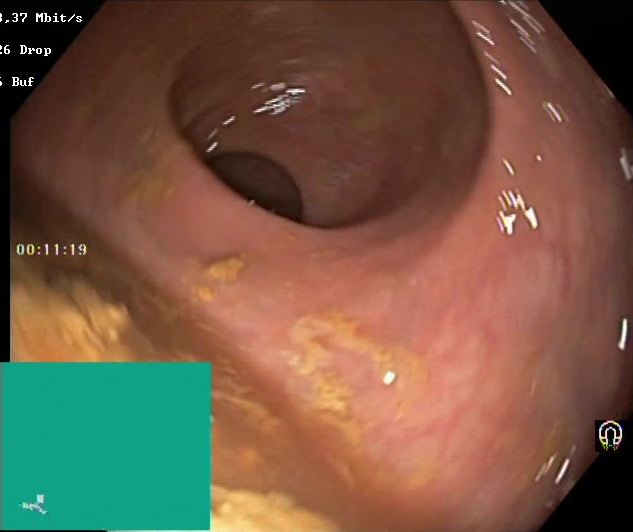This endoscopic image of the lower GI tract shows BBPS score 0–1 (inadequate preparation).